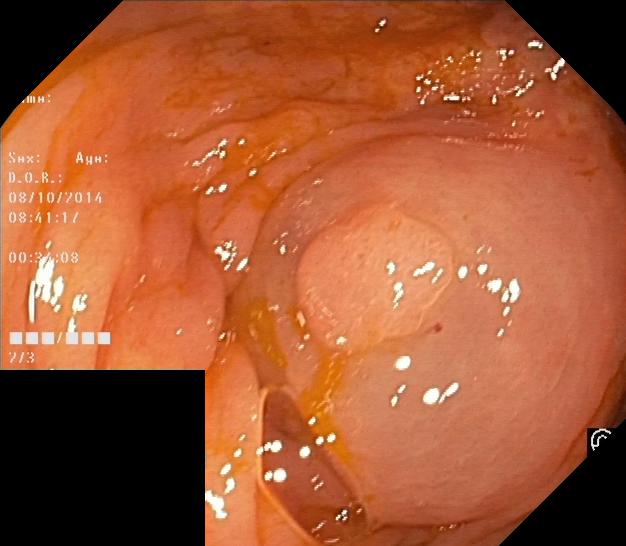This endoscopy frame of the lower GI tract shows colorectal polyp(s).